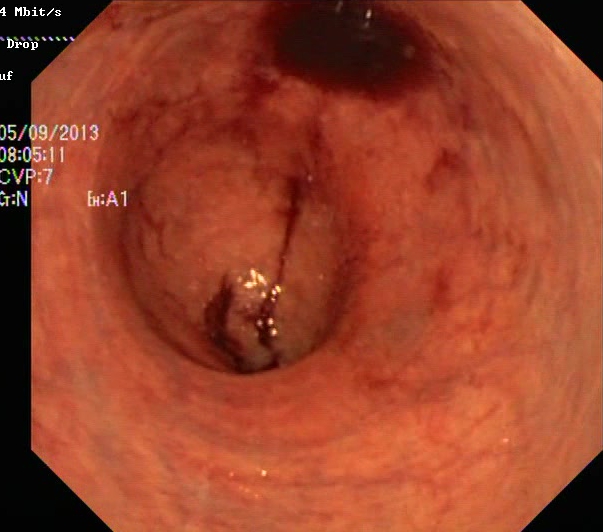Lower gastrointestinal endoscopy. Tract: lower GI tract. Pathological finding. Finding: UC, Mayo endoscopic subscore 1.